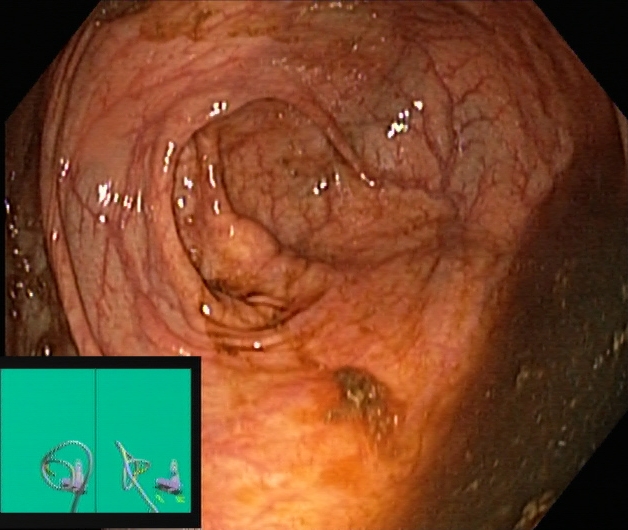Lower-GI endoscopy. Finding: cecum.